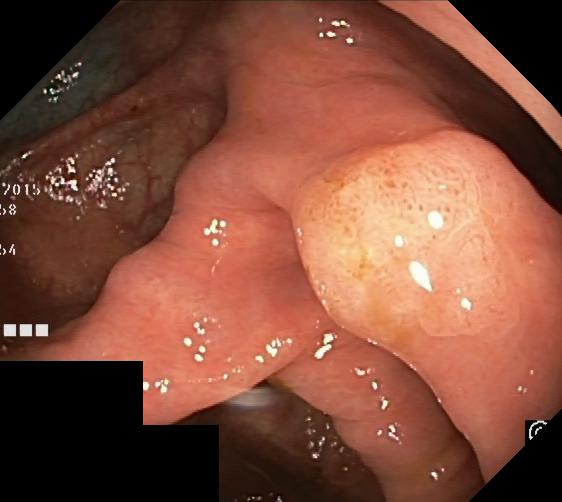modality: lower gastrointestinal endoscopy
tract: lower GI tract
finding: colorectal polyp(s)